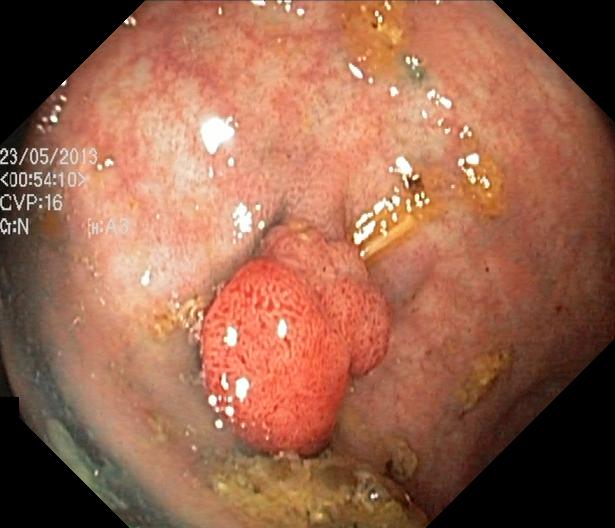Colorectal polyp(s).